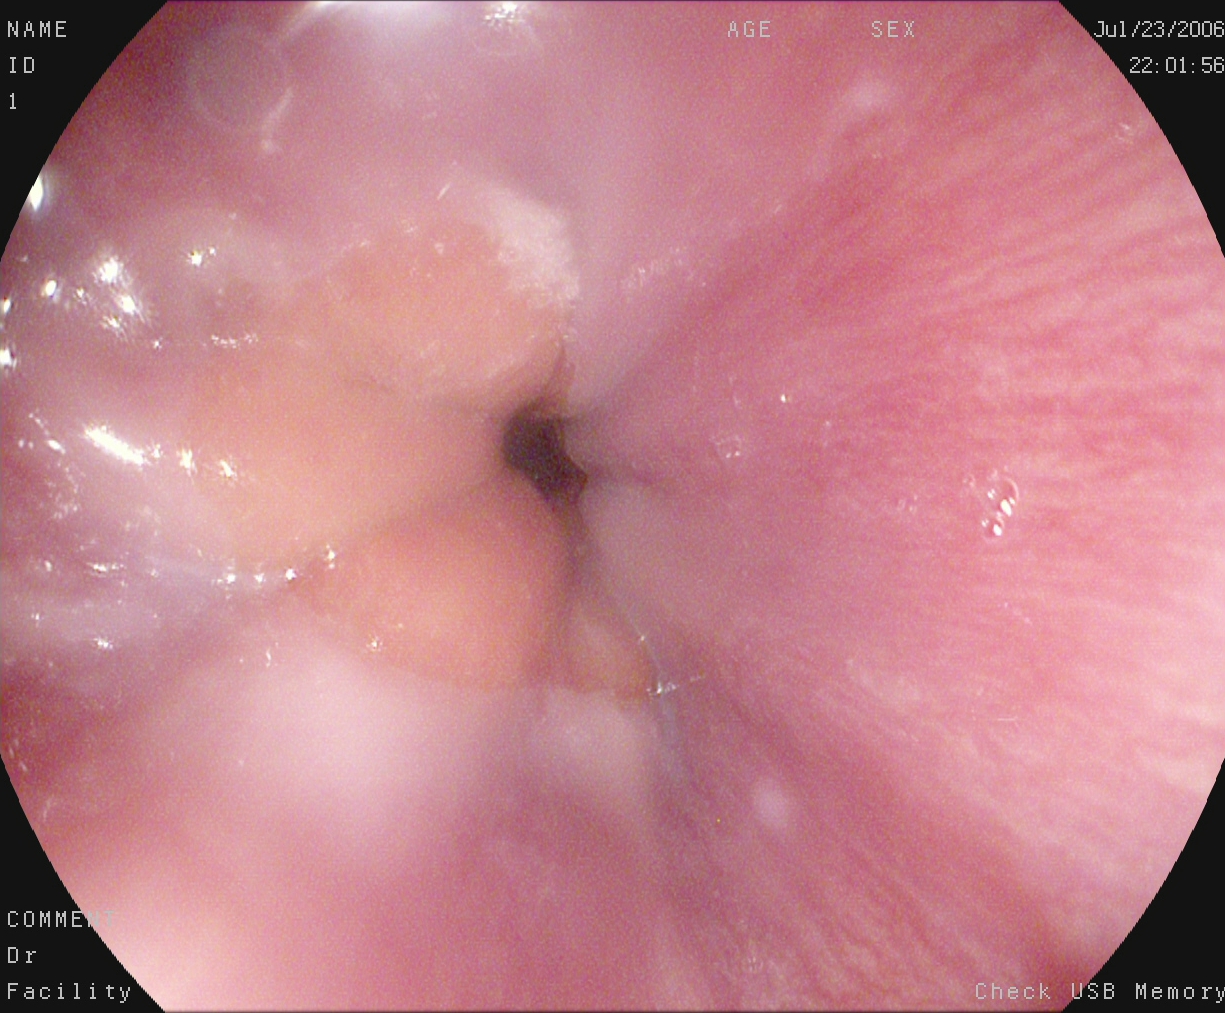Gastroscopy. Tract: upper GI tract. Finding: Z-line (gastroesophageal junction).